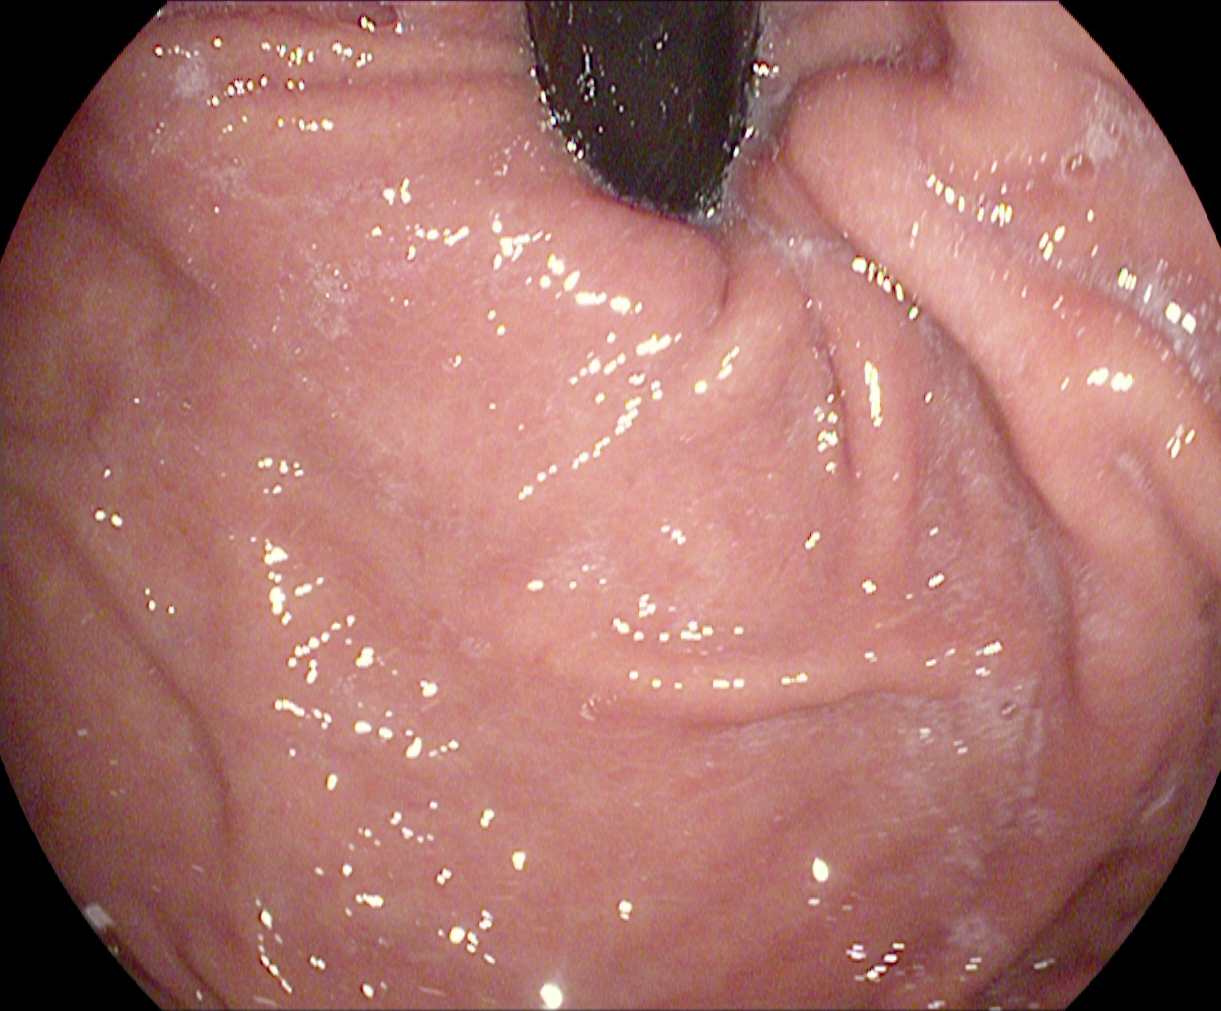Stomach in retroflexion.